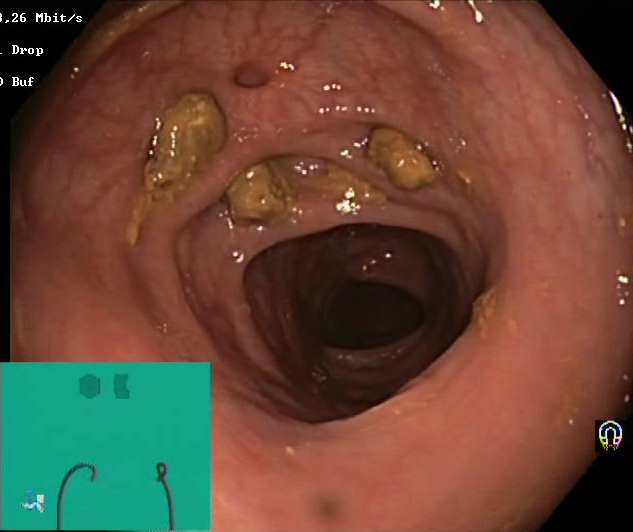modality: lower-GI endoscopy | category: mucosal-view quality | finding: impacted stool